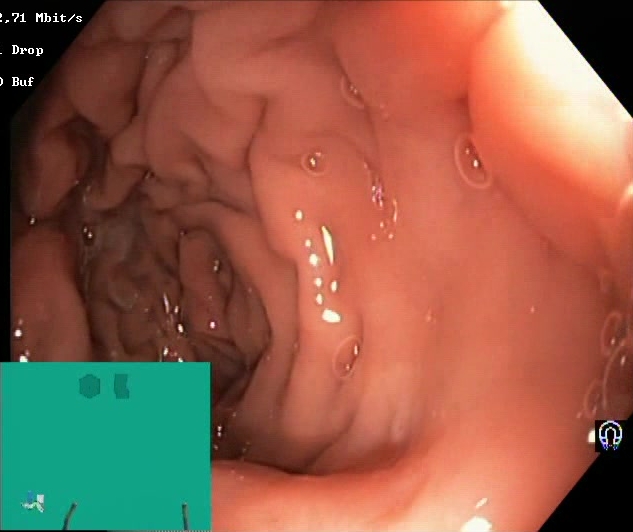Endoscopic image of the lower GI tract showing Boston Bowel Preparation Scale score 2–3 (adequate preparation).